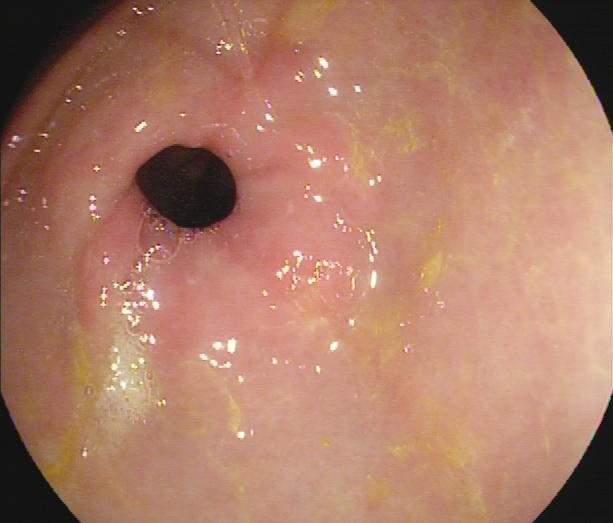Upper-GI endoscopy image of the upper GI tract showing pylorus.